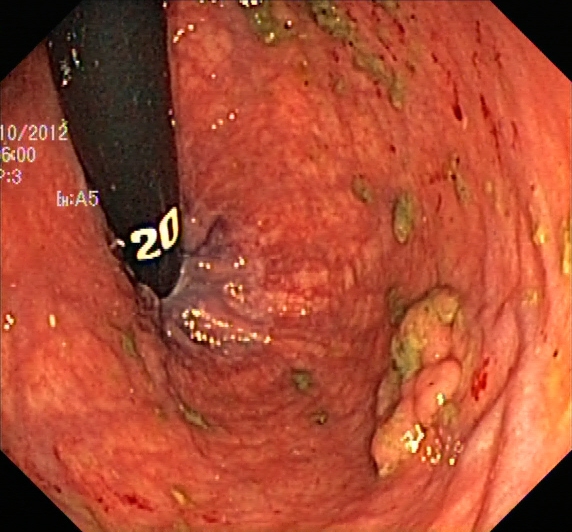PROCEDURE: Lower-GI endoscopy.
FINDINGS: Colorectal polyp(s).